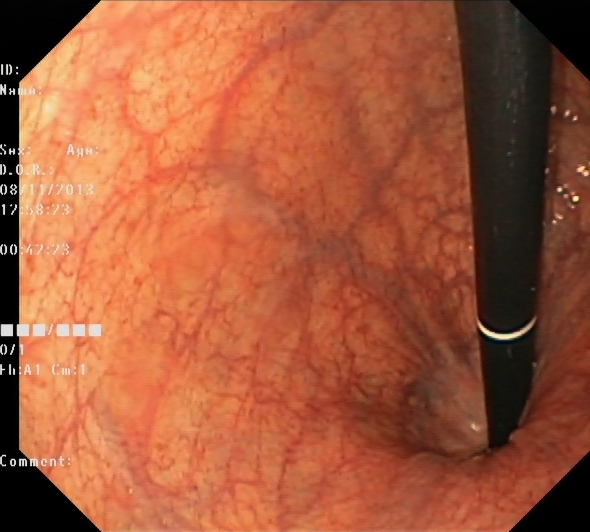Rectum in retroflexion.